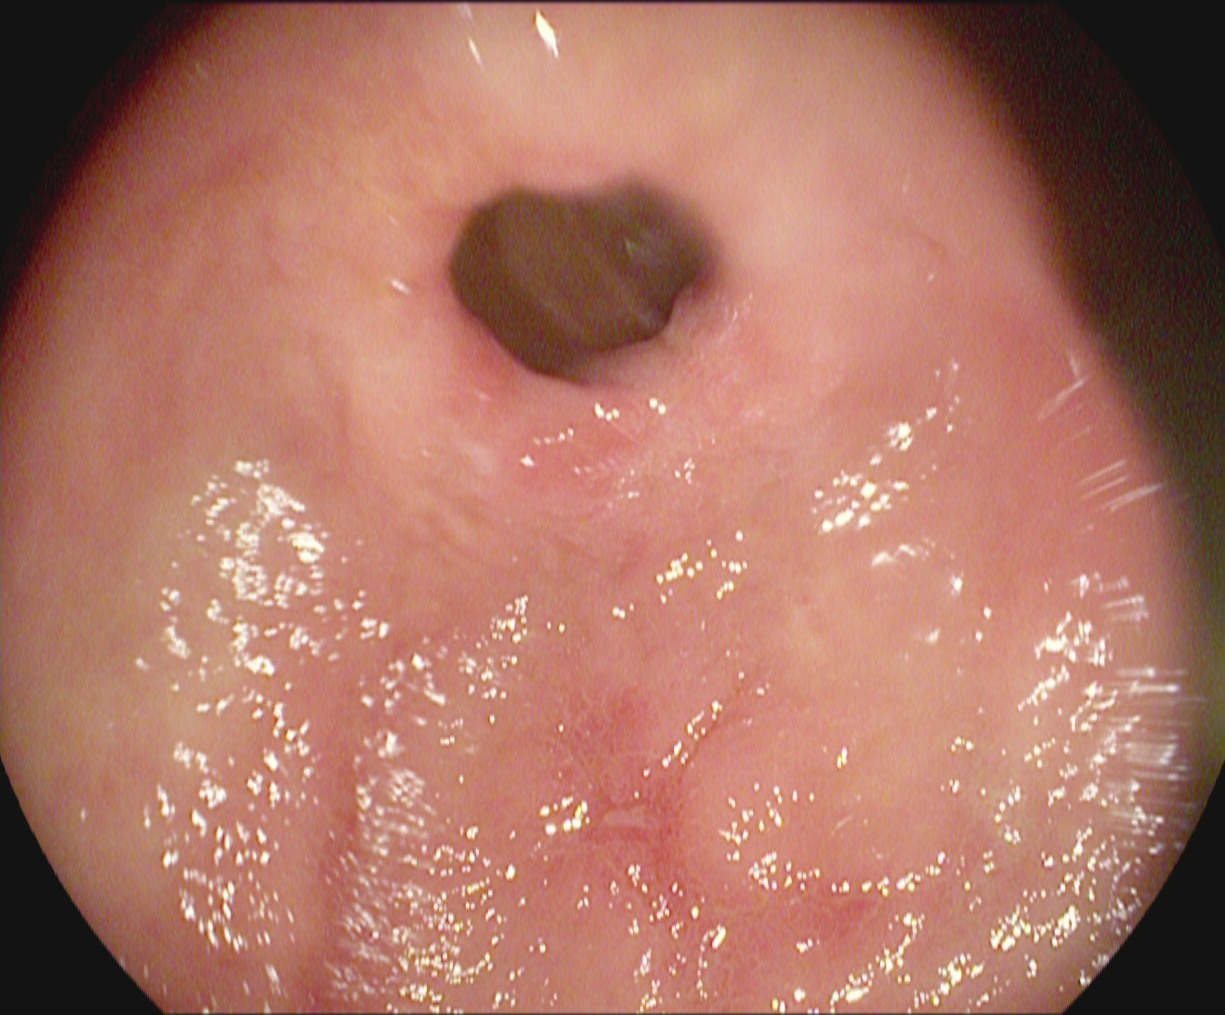PROCEDURE: Upper-GI endoscopy.
FINDINGS: Pylorus.